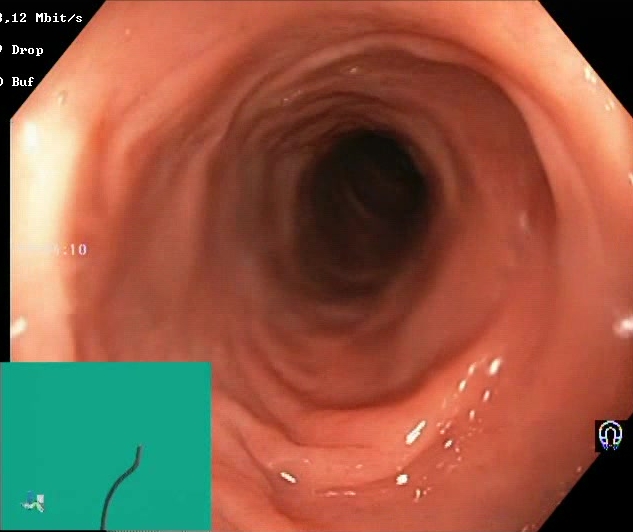Boston Bowel Preparation Scale score 2–3 (adequate preparation).